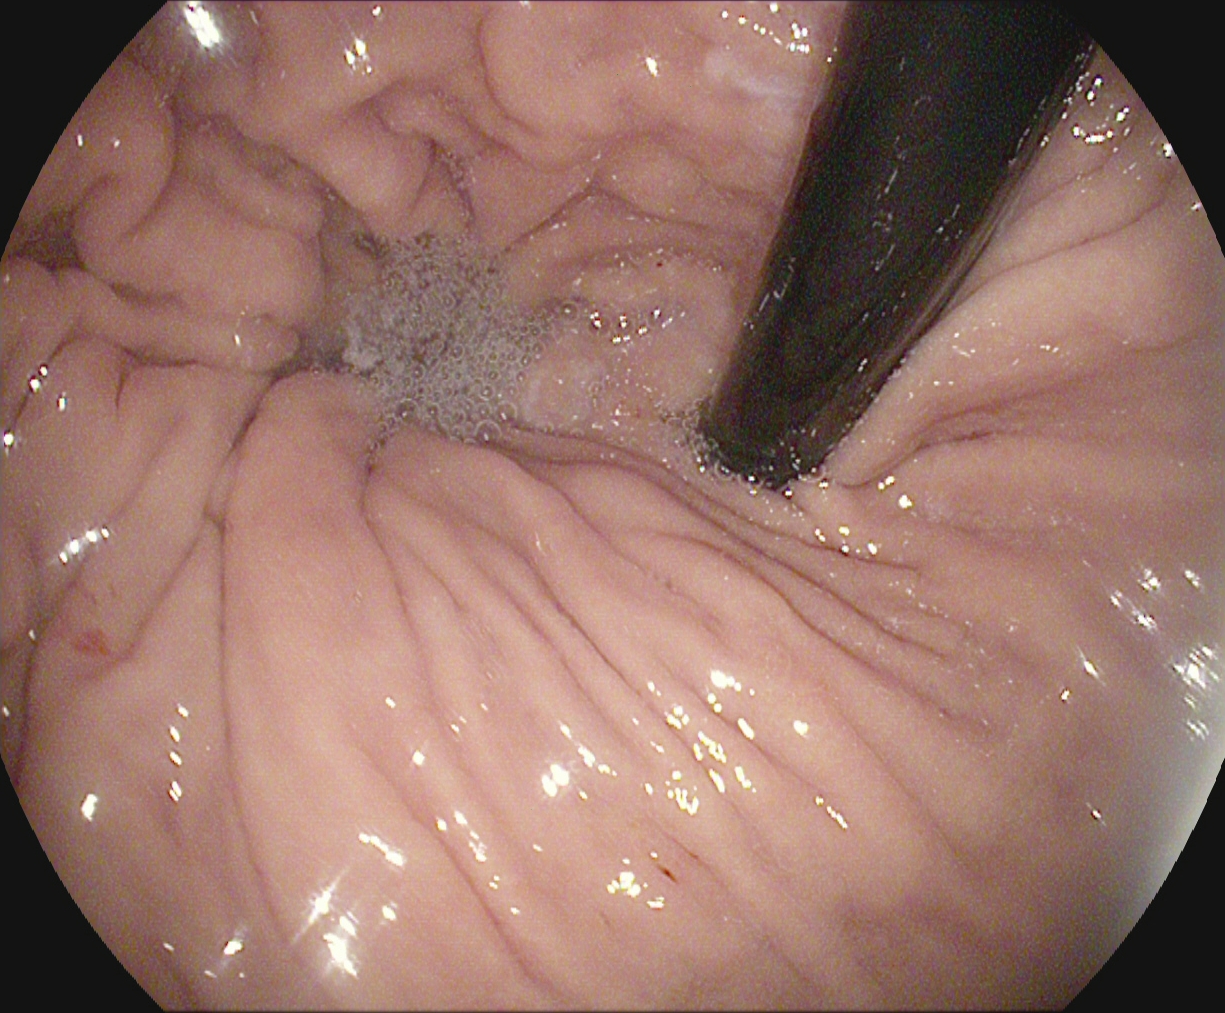modality: gastroscopy | tract: upper GI tract | category: anatomical landmark | finding: stomach in retroflexion